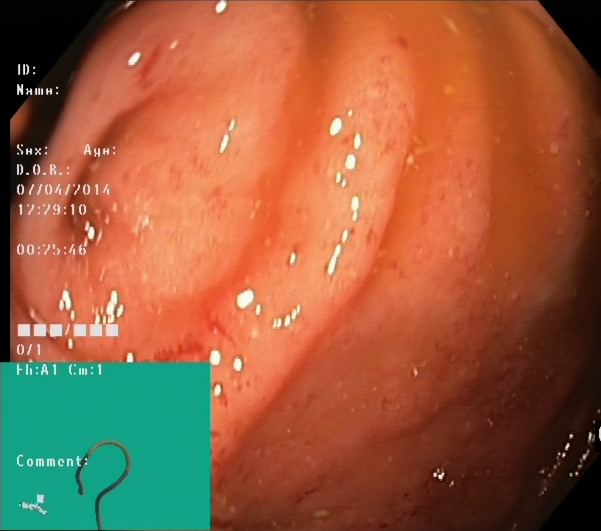cecum.